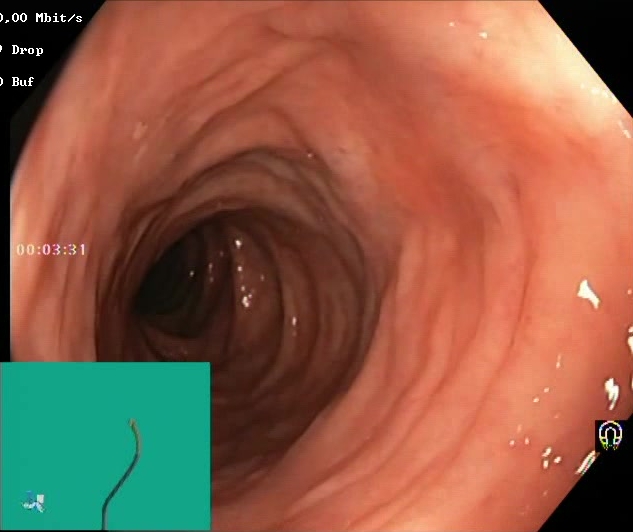{"modality": "lower-GI endoscopy", "tract": "lower GI tract", "finding": "BBPS score 2\u20133 (adequate preparation)"}